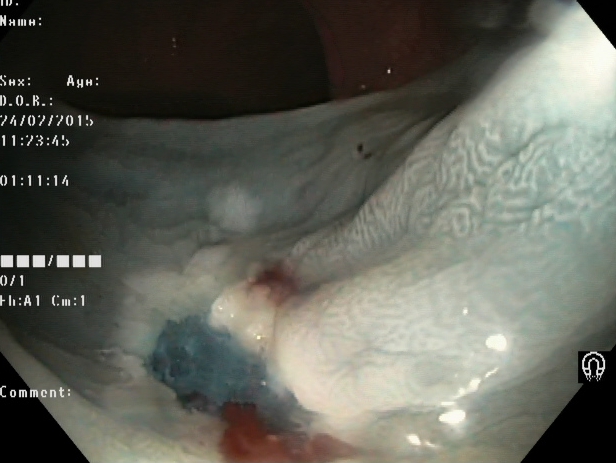Lower gastrointestinal endoscopy — dyed resection margins (post-polypectomy).